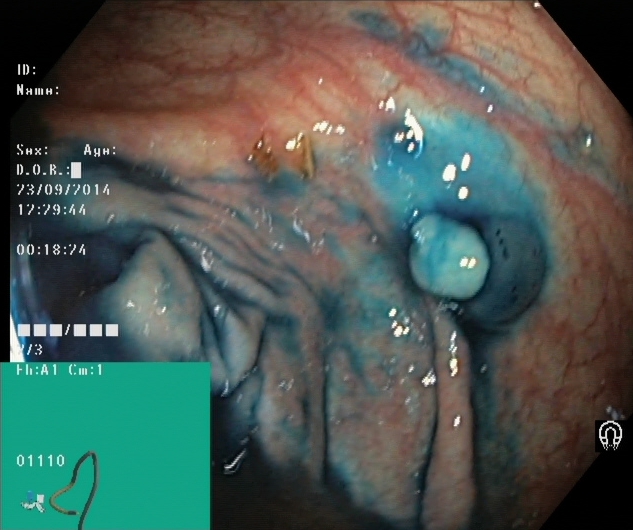Endoscopic frame of the lower GI tract showing dyed and lifted polyp (pre-resection).